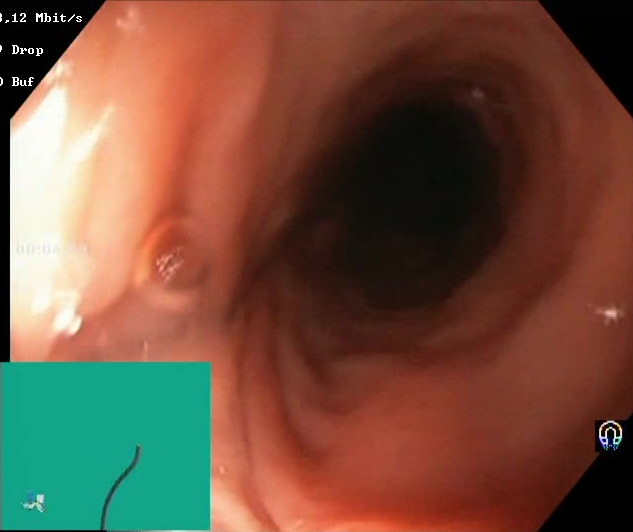{"modality": "lower-GI endoscopy", "tract": "lower GI tract", "category": "mucosal-view quality", "finding": "Boston Bowel Preparation Scale score 2\u20133 (adequate preparation)"}